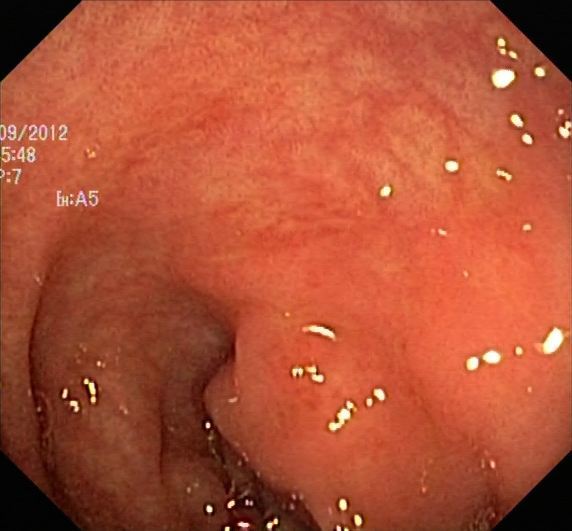Endoscopy image of the lower GI tract showing ulcerative colitis, Mayo endoscopic subscore 1.